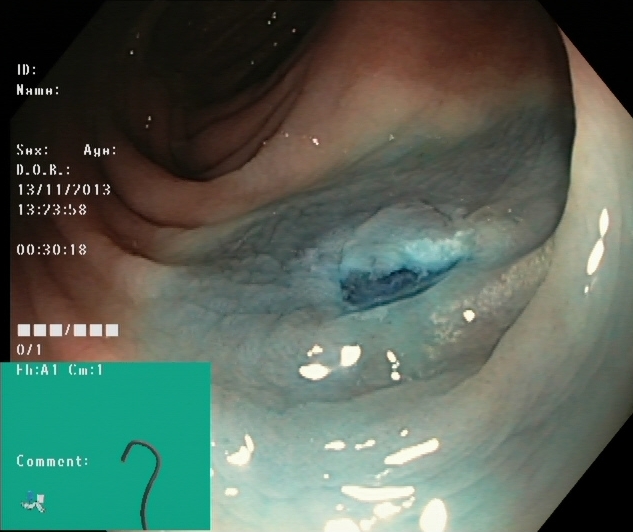PROCEDURE: Colonoscopy.
FINDINGS: Dyed resection margins (post-polypectomy).